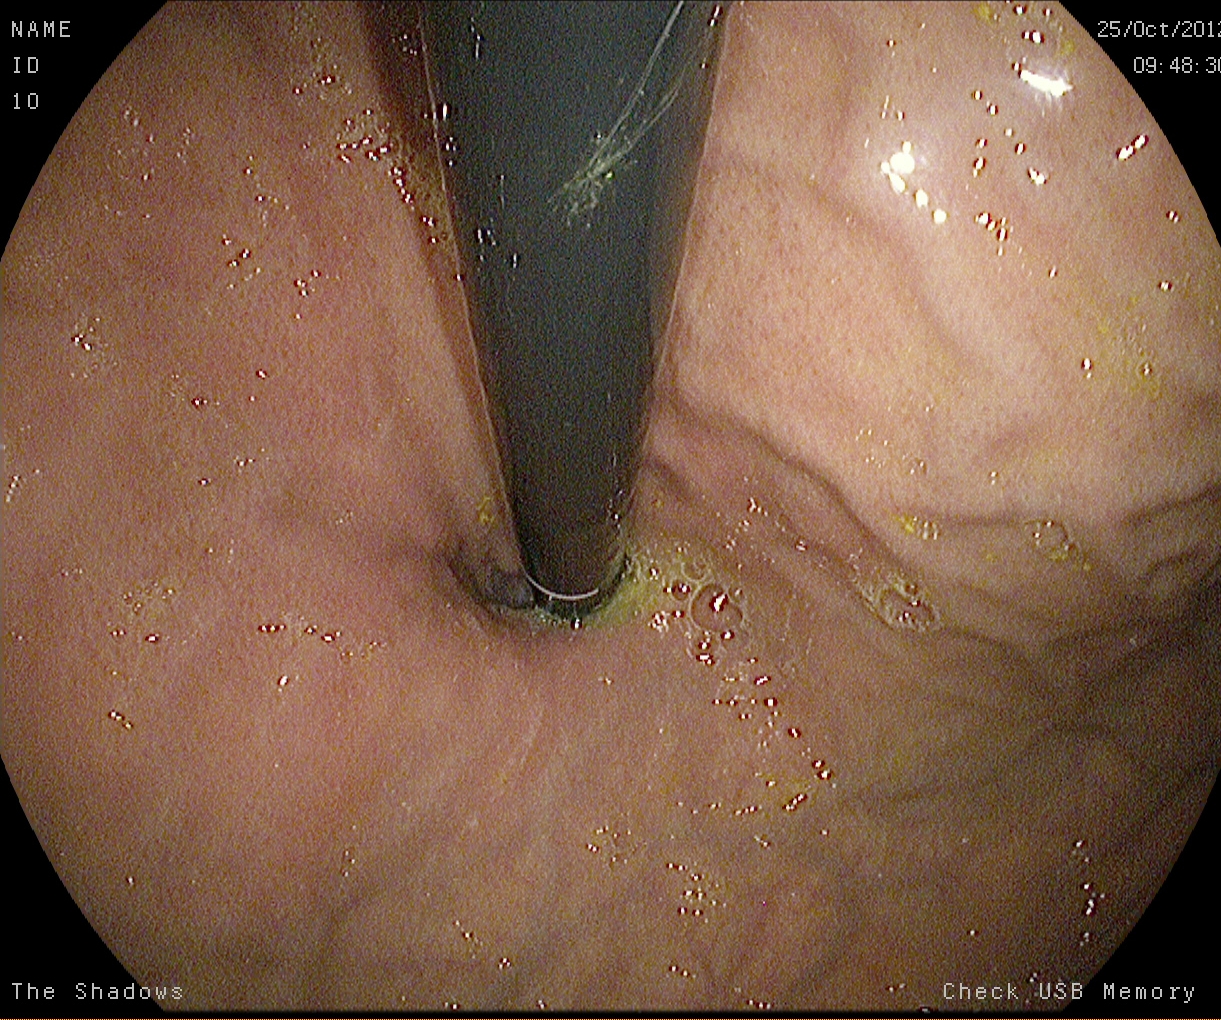PROCEDURE: Gastroscopy.
FINDINGS: Stomach in retroflexion.